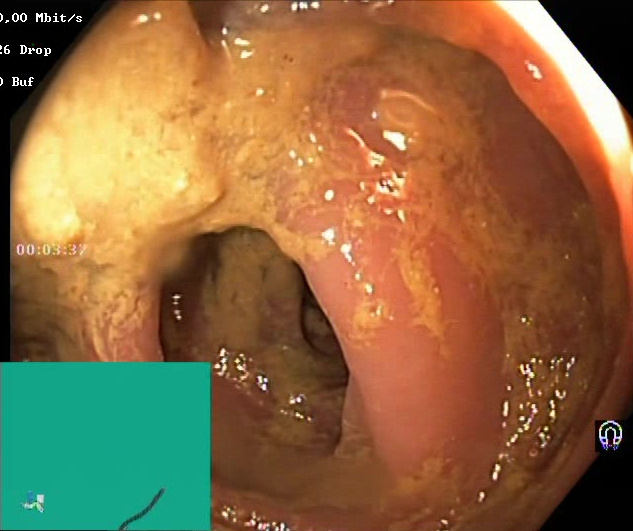PROCEDURE: Lower-GI endoscopy.
FINDINGS: Boston Bowel Preparation Scale score 0–1 (inadequate preparation).